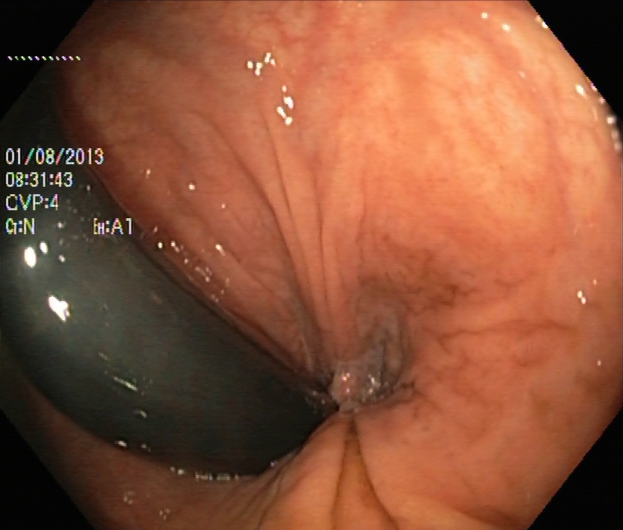modality: lower-GI endoscopy; tract: lower GI tract; category: anatomical landmark; finding: rectum in retroflexion